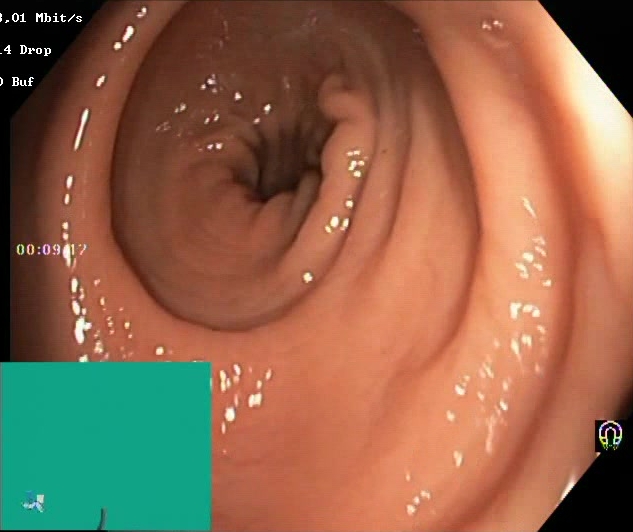{"modality": "lower-GI endoscopy", "tract": "lower GI tract", "finding": "Boston Bowel Preparation Scale score 2\u20133 (adequate preparation)"}